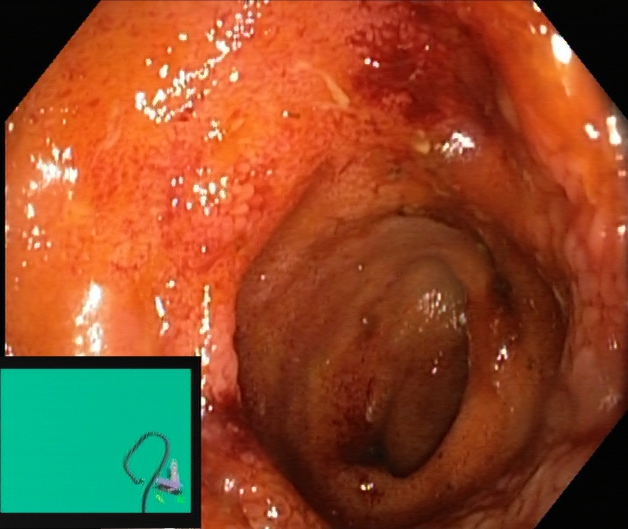{"modality": "colonoscopy", "finding": "terminal ileum"}